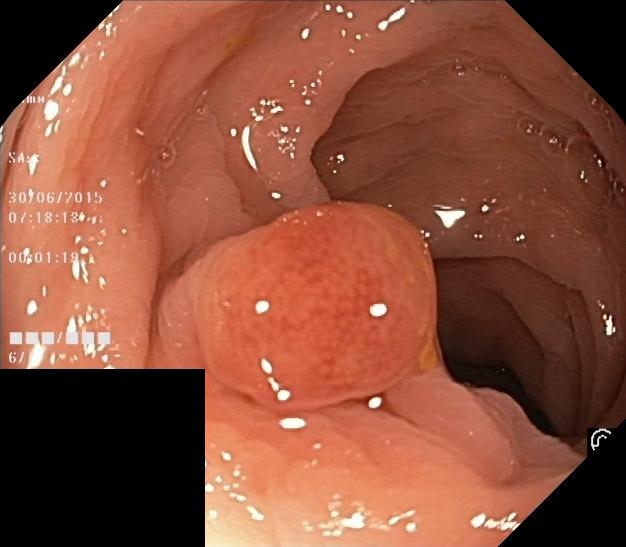Colorectal polyp(s).